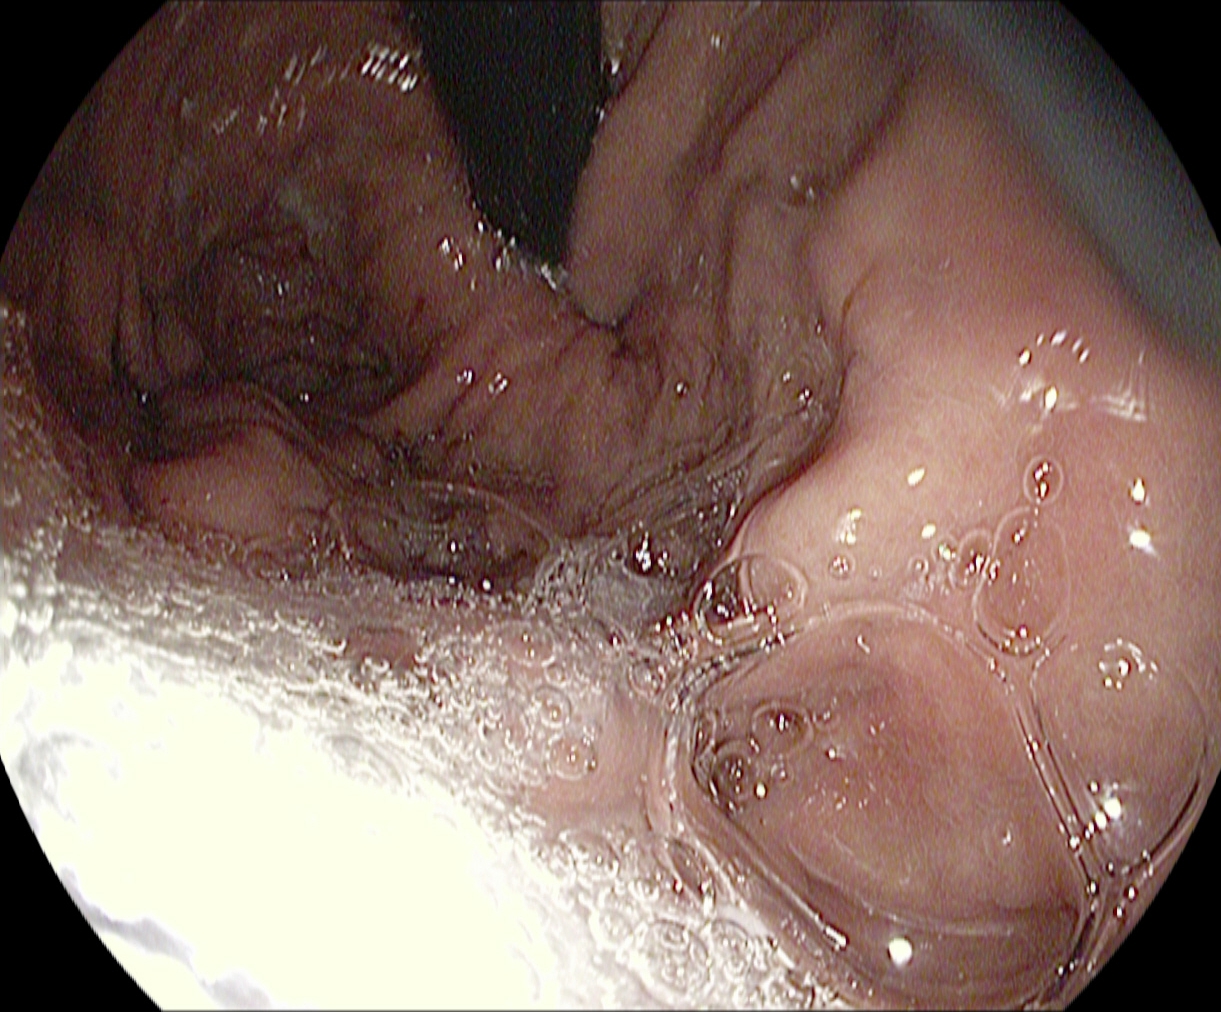{"modality": "upper-GI endoscopy", "tract": "upper GI tract", "finding": "stomach in retroflexion"}